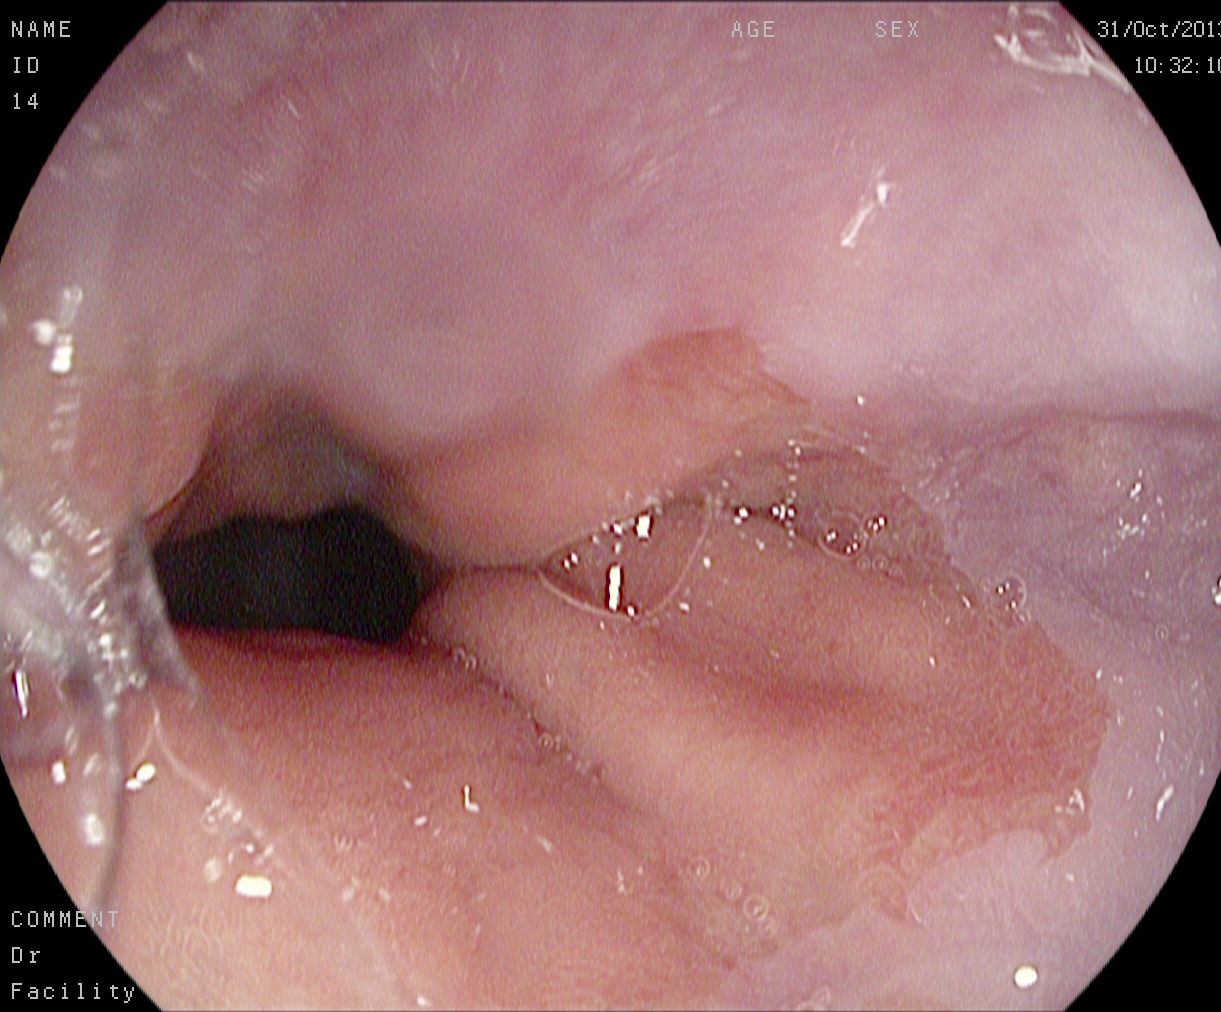Esophagogastroduodenoscopy — Z-line (gastroesophageal junction).